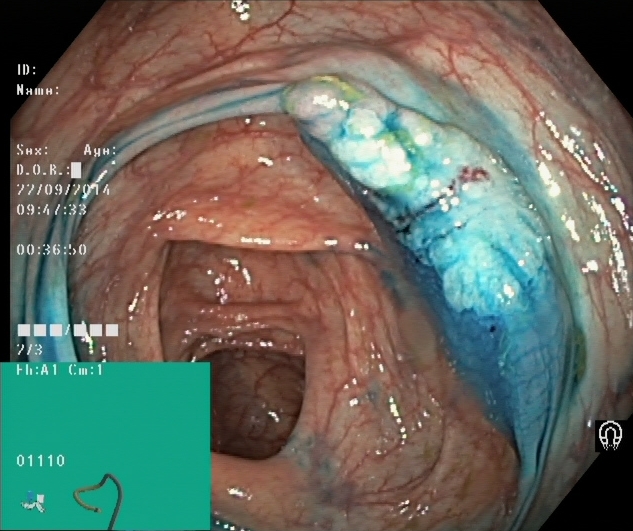{"modality": "lower gastrointestinal endoscopy", "category": "therapeutic intervention", "finding": "dyed and lifted polyp (pre-resection)"}